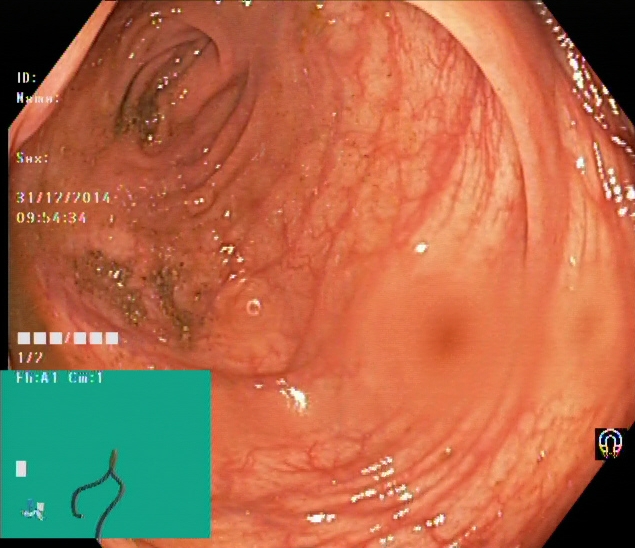PROCEDURE: Colonoscopy.
CATEGORY: Anatomical landmark.
FINDINGS: Cecum.